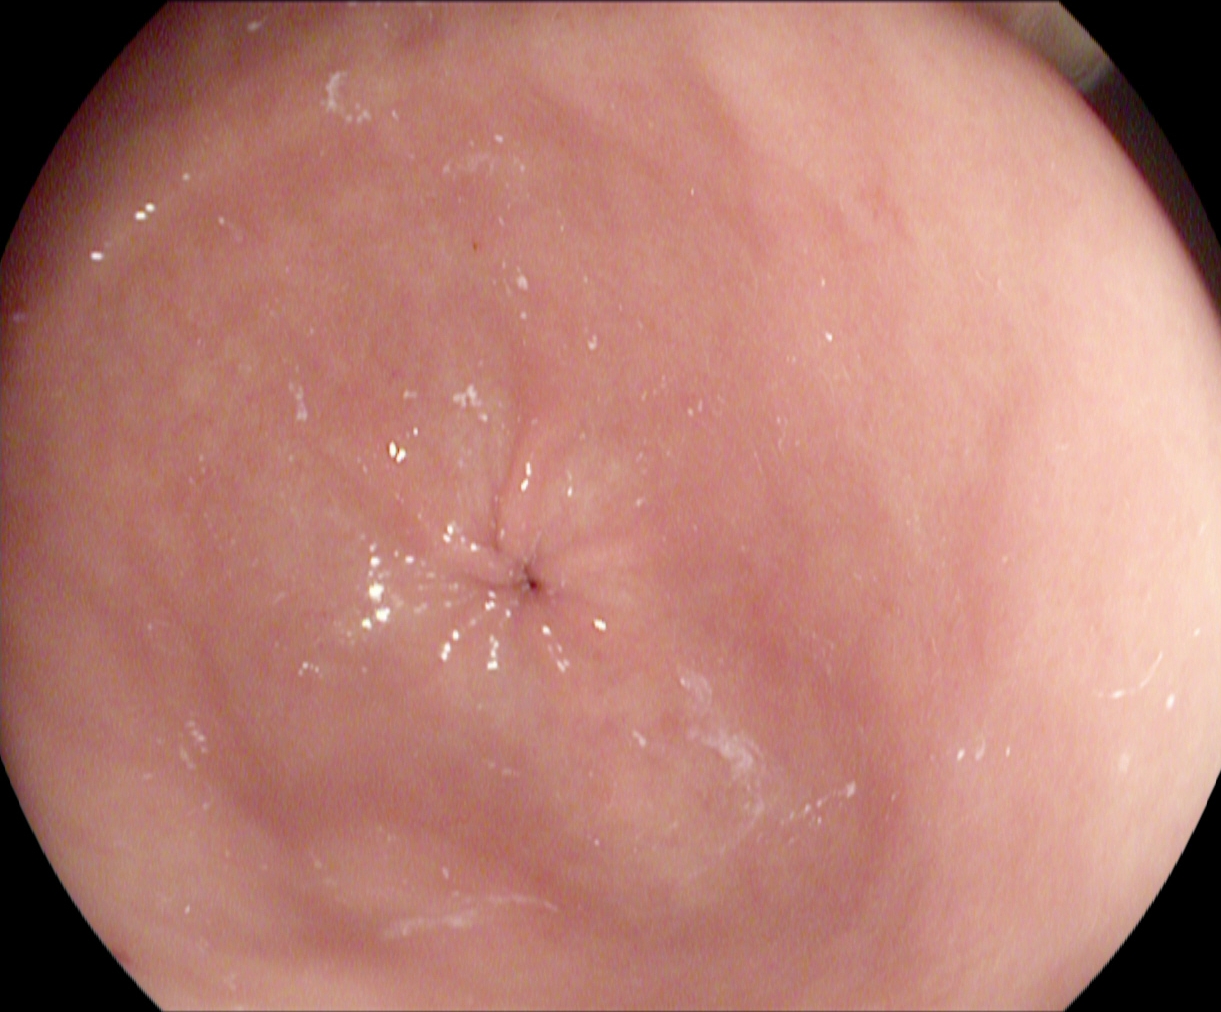modality: upper-GI endoscopy
tract: upper GI tract
finding: pylorus